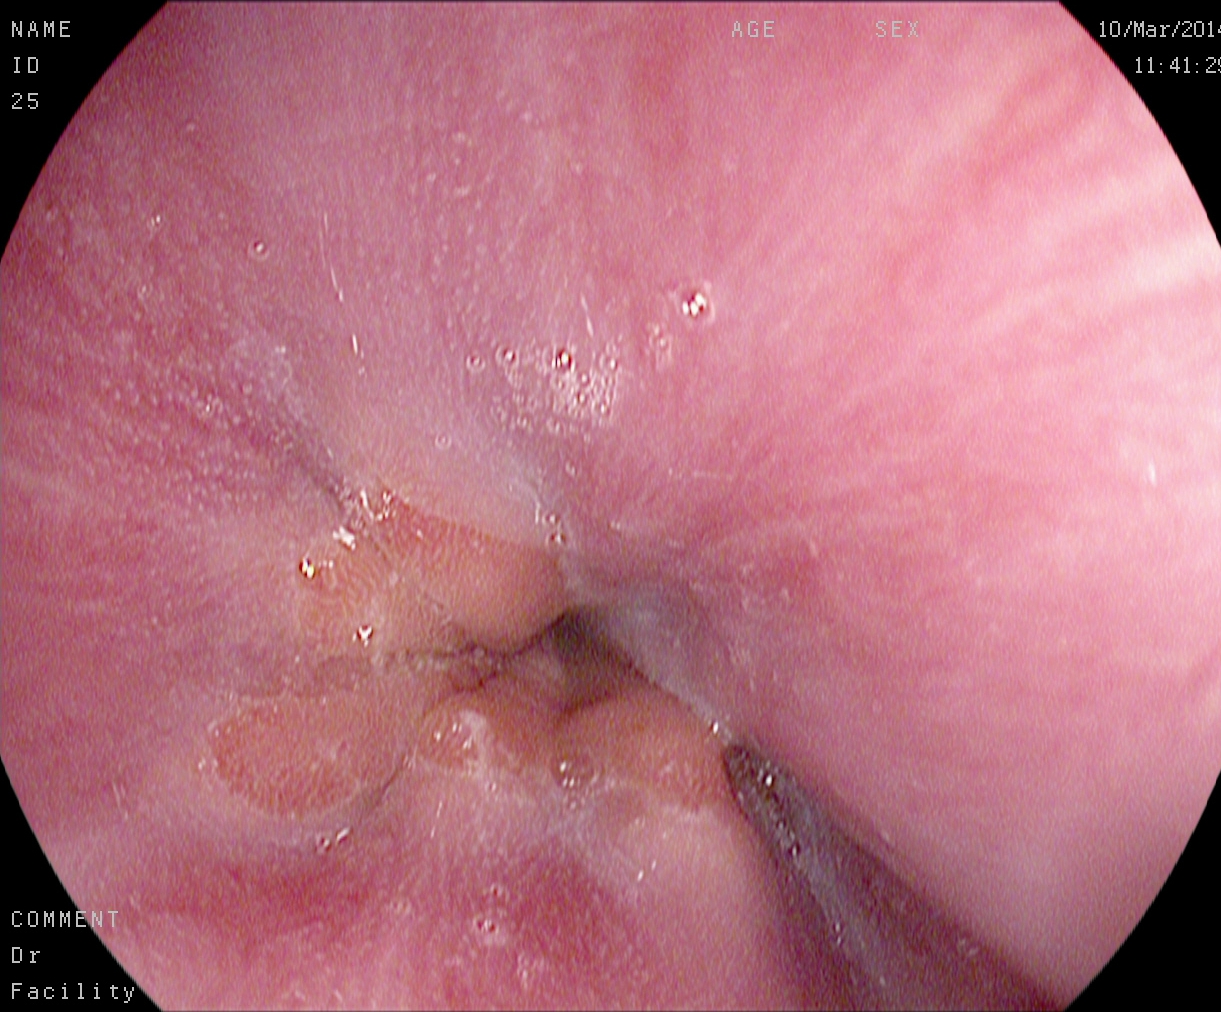Gastrointestinal endoscopy image showing Z-line (gastroesophageal junction).